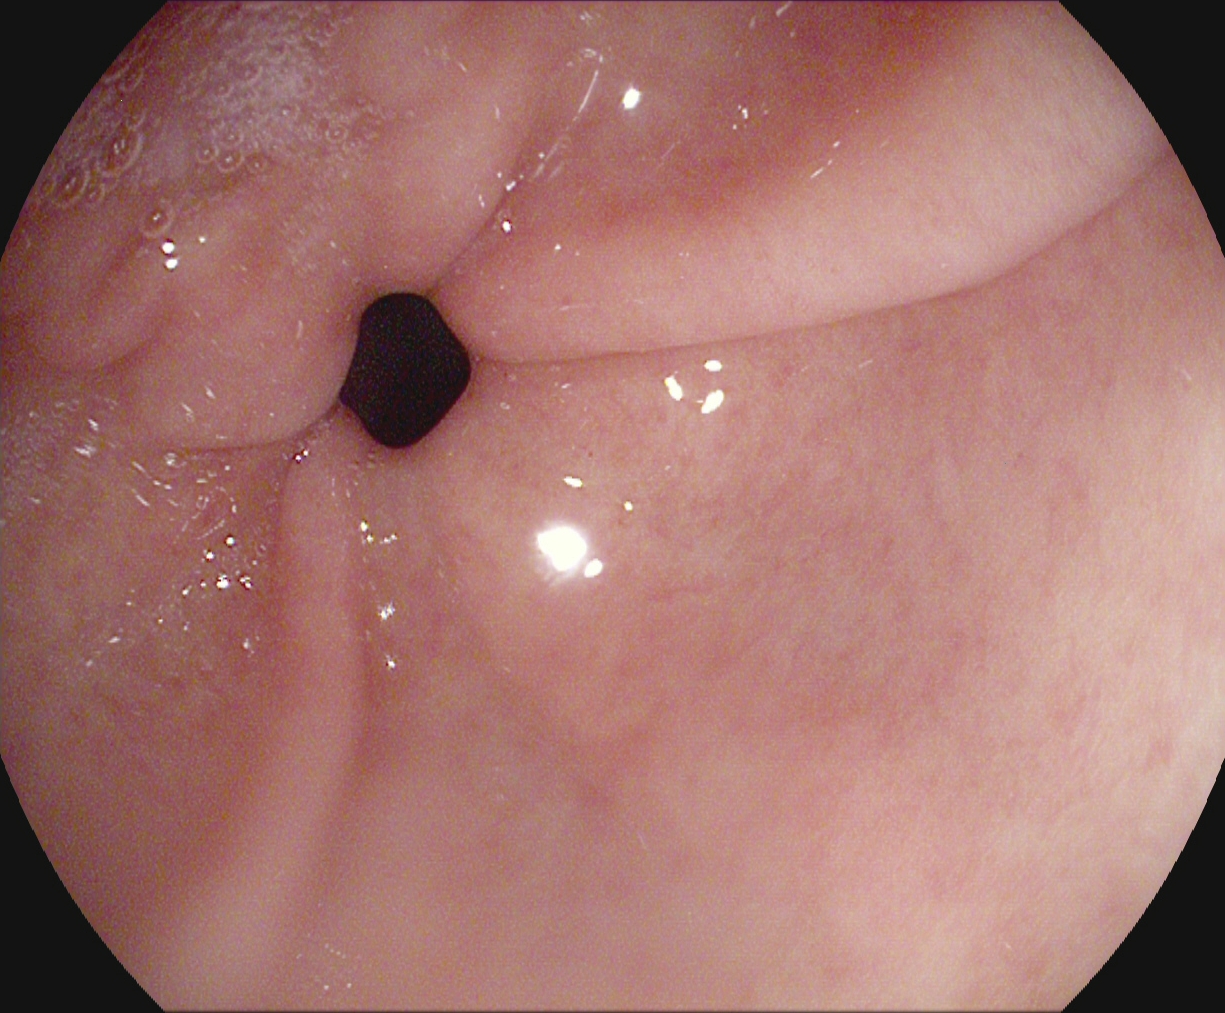Esophagogastroduodenoscopy. Tract: upper GI tract. Anatomical landmark. Finding: pylorus.